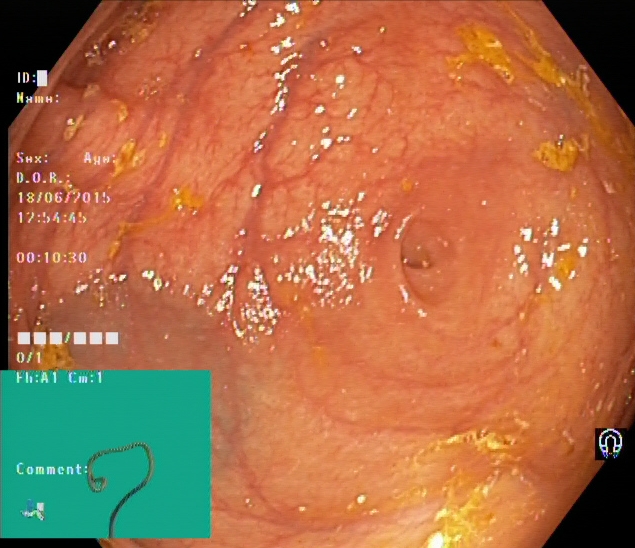Lower-GI endoscopy. Tract: lower GI tract. Anatomical landmark. Finding: cecum.